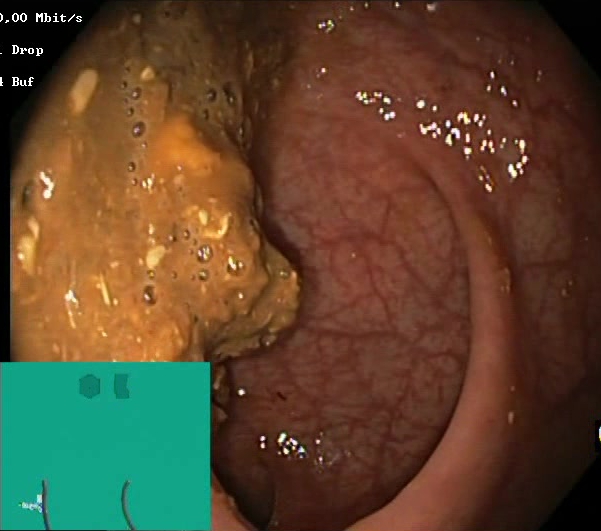PROCEDURE: Colonoscopy.
CATEGORY: Mucosal-view quality.
FINDINGS: BBPS score 0–1 (inadequate preparation).